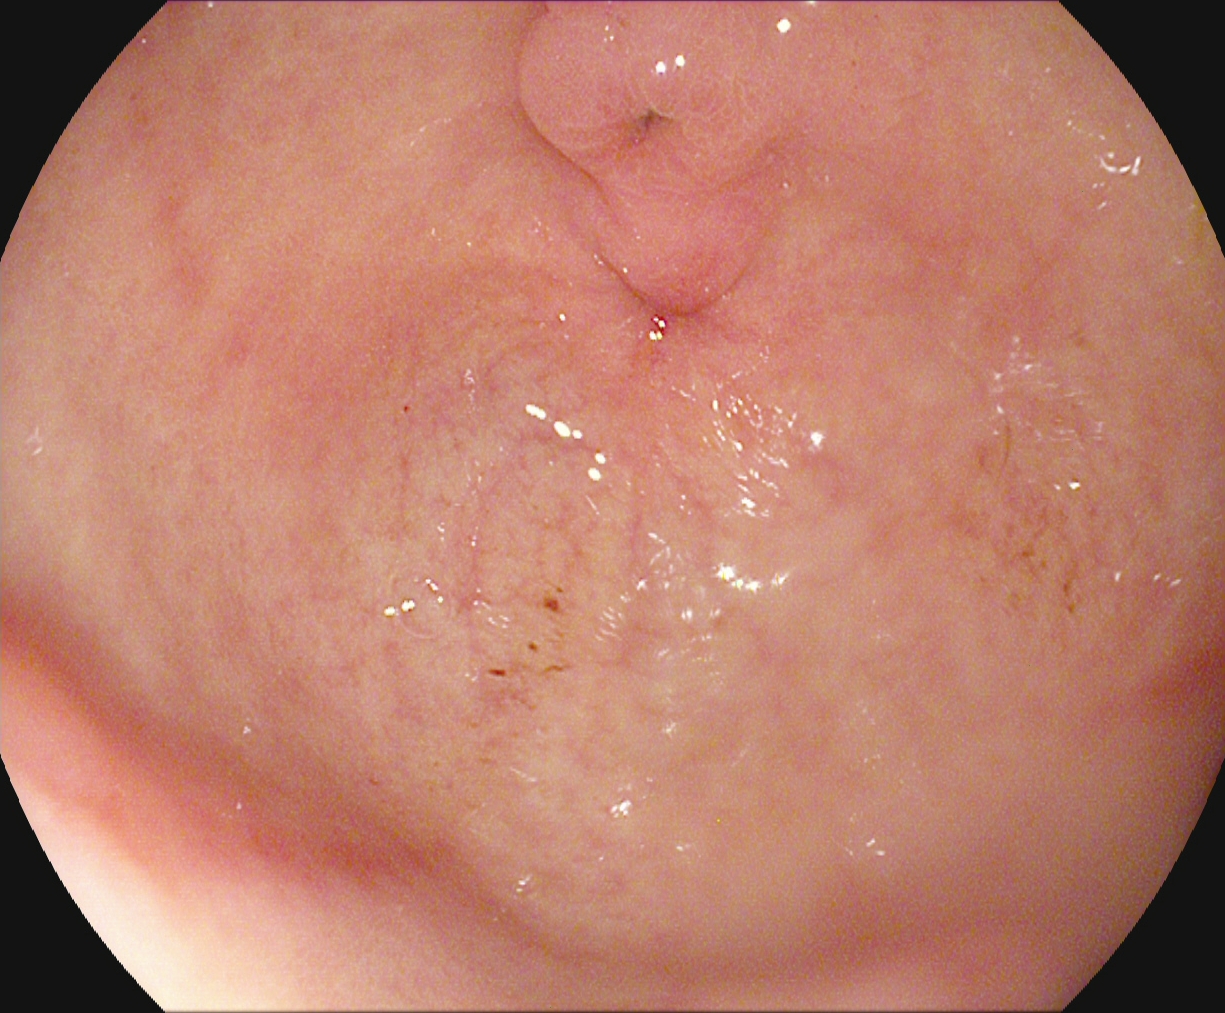Esophagogastroduodenoscopy. Tract: upper GI tract. Anatomical landmark. Finding: pylorus.